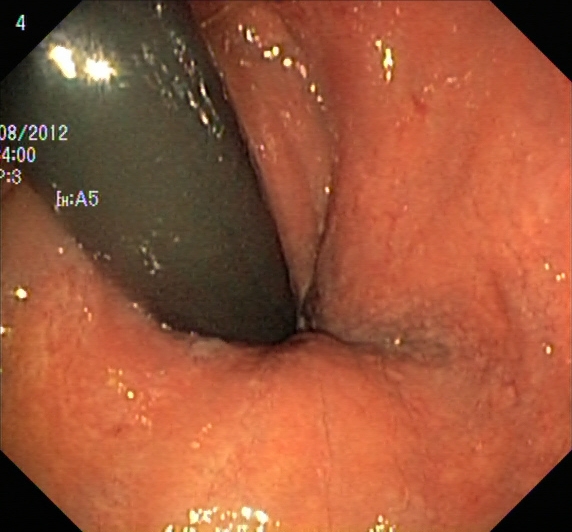Endoscopic image showing rectum in retroflexion.